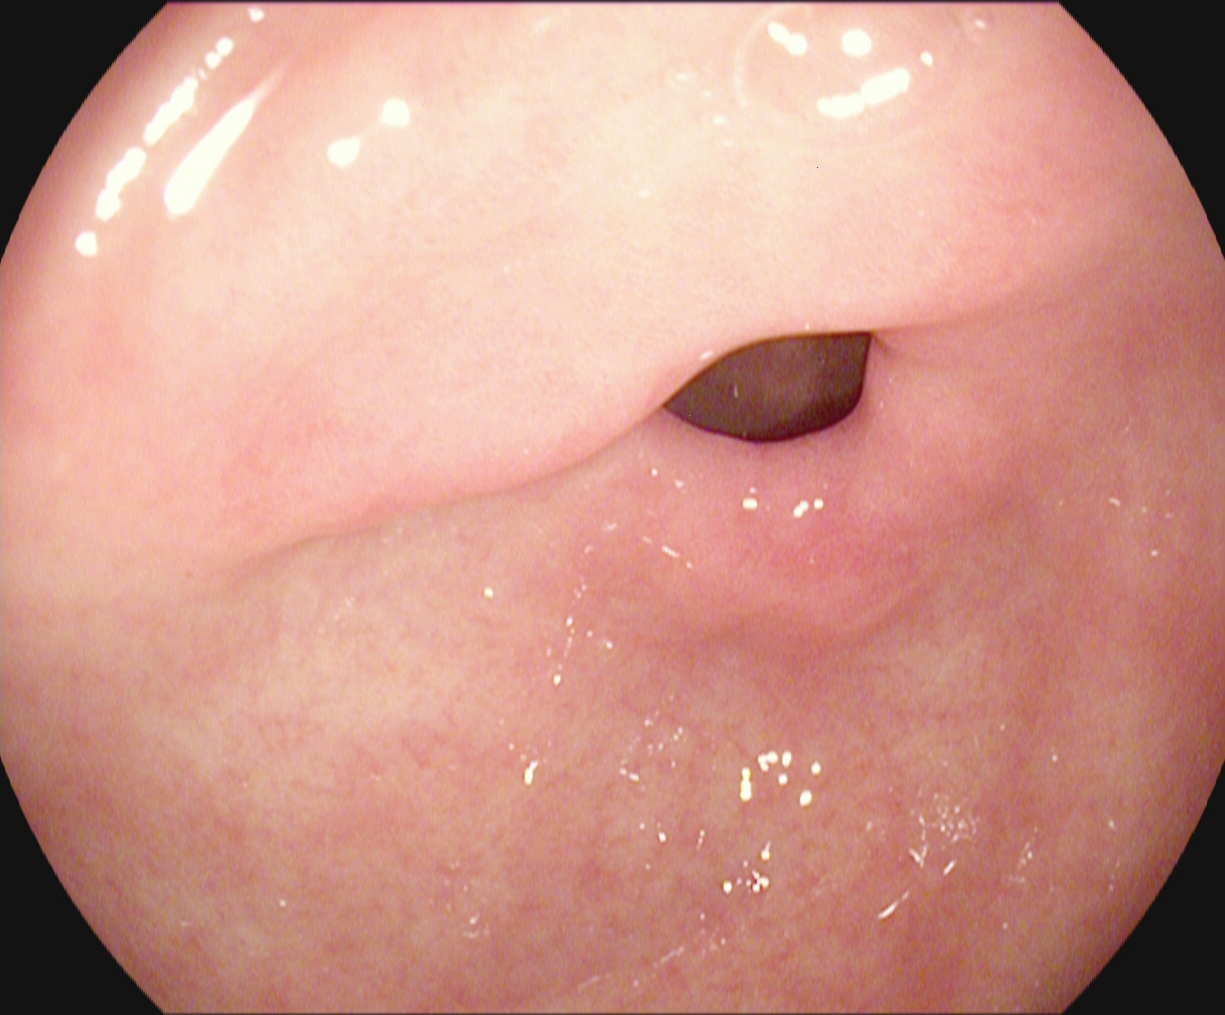{"modality": "EGD", "tract": "upper GI tract", "finding": "pylorus"}